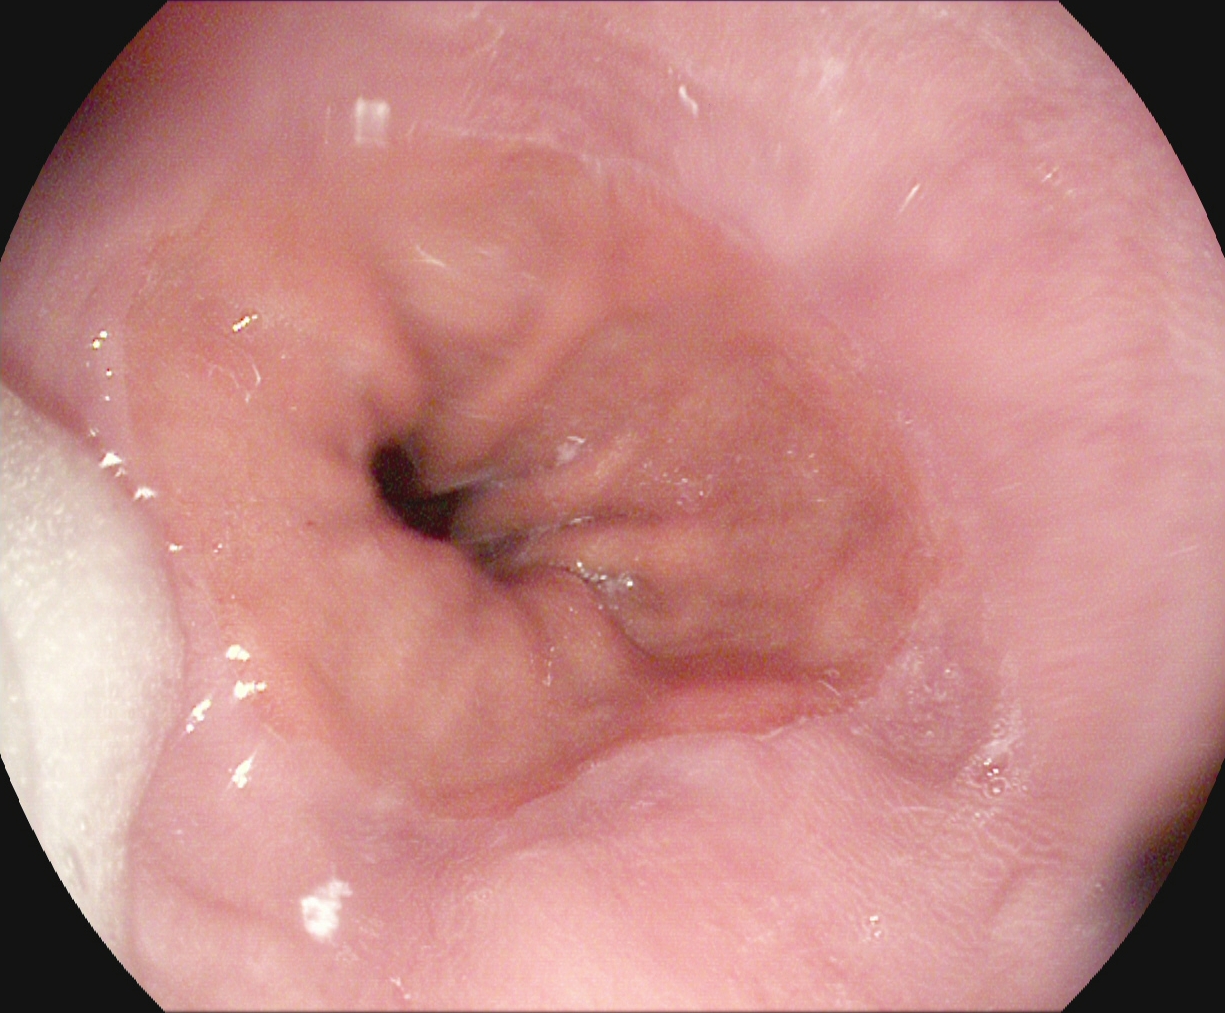Endoscopic image showing Z-line (gastroesophageal junction).